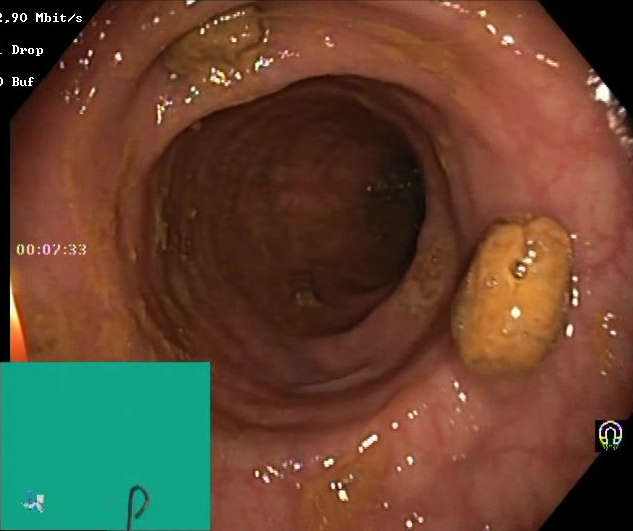{"modality": "lower gastrointestinal endoscopy", "category": "mucosal-view quality", "finding": "impacted stool"}